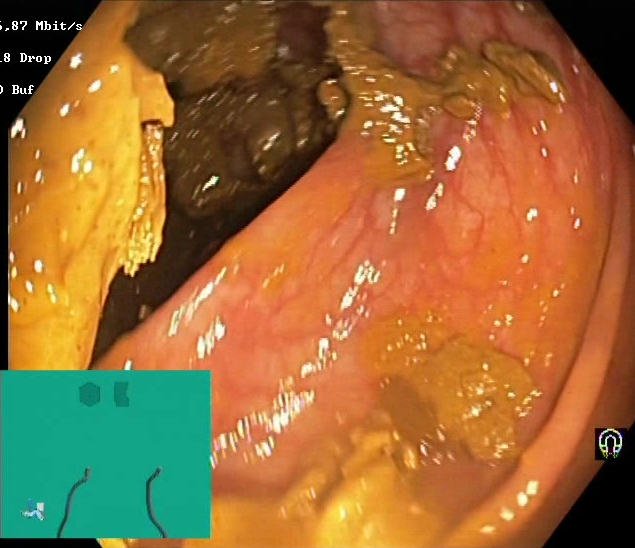Colonoscopy. Finding: Boston Bowel Preparation Scale score 0–1 (inadequate preparation).